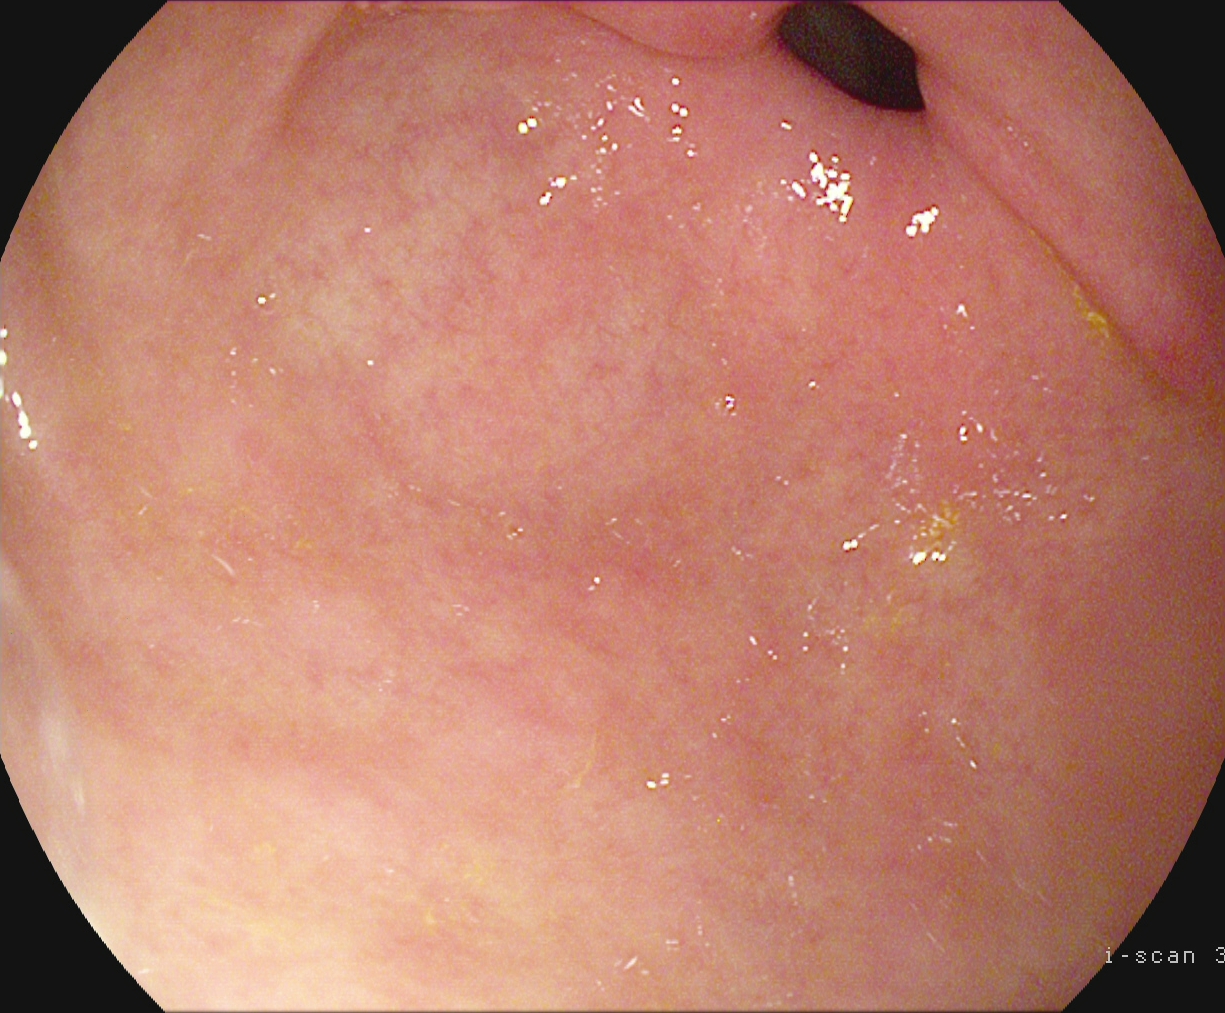Gastroscopy — pylorus.